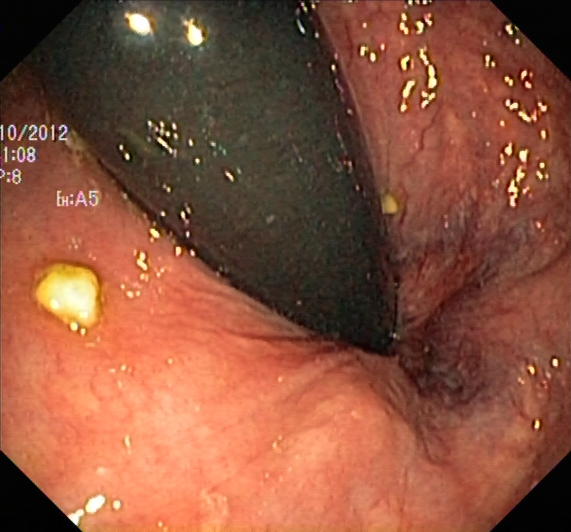{"modality": "lower gastrointestinal endoscopy", "finding": "rectum in retroflexion"}